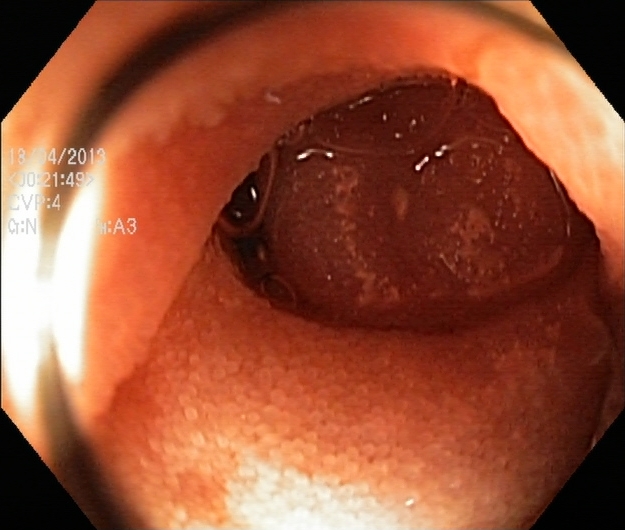Colonoscopy. Anatomical landmark. Finding: terminal ileum.